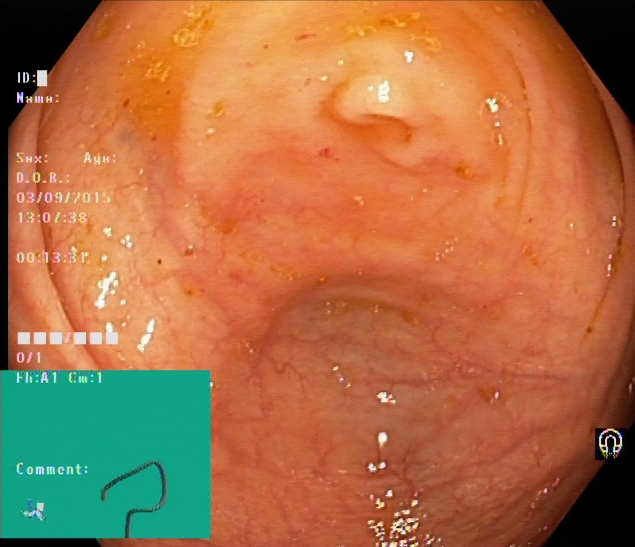PROCEDURE: Colonoscopy.
CATEGORY: Anatomical landmark.
FINDINGS: Cecum.